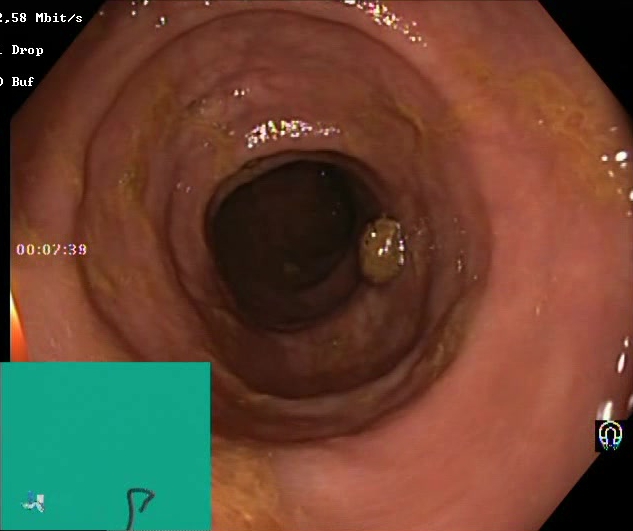This endoscopic image shows BBPS score 2–3 (adequate preparation).